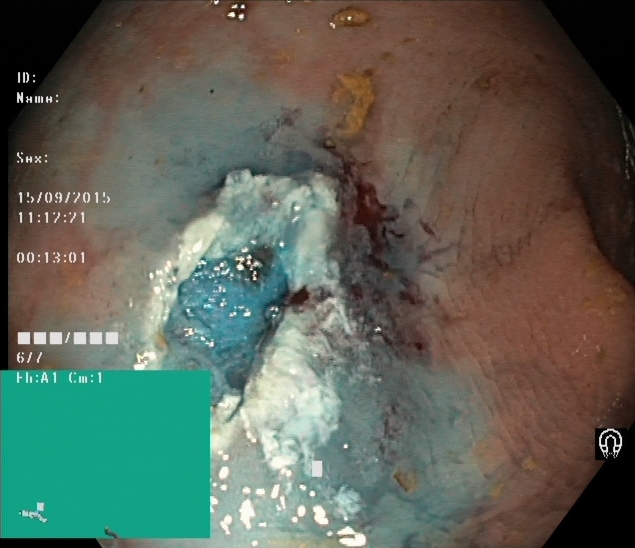This endoscopy frame shows dyed resection margins (post-polypectomy).